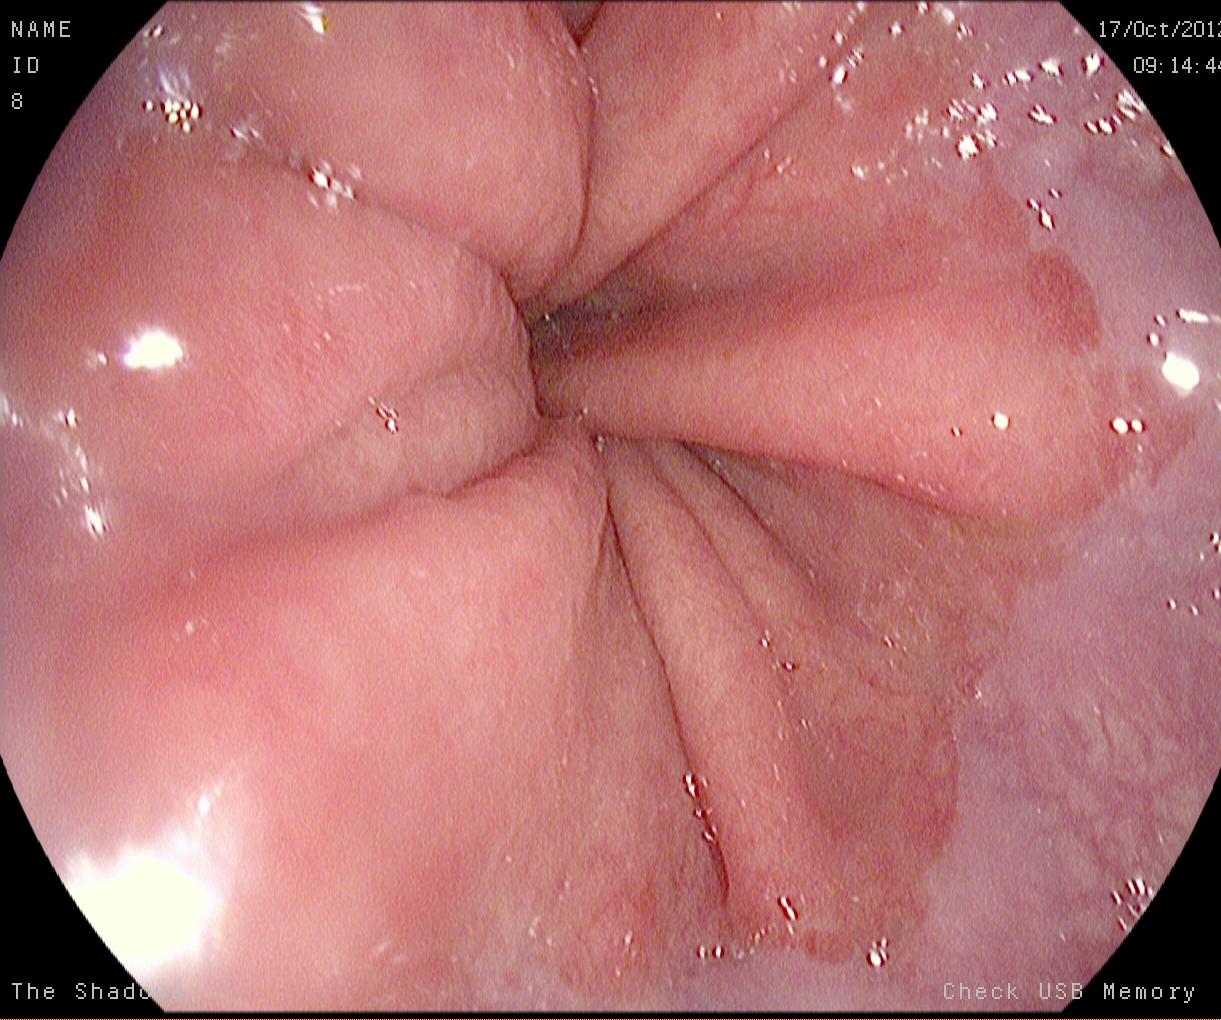Z-line (gastroesophageal junction).